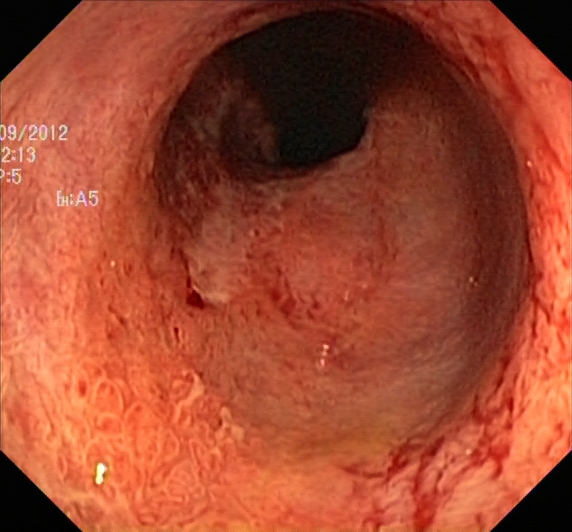Lower-GI endoscopy. Tract: lower GI tract. Finding: ulcerative colitis, Mayo endoscopic subscore 2.